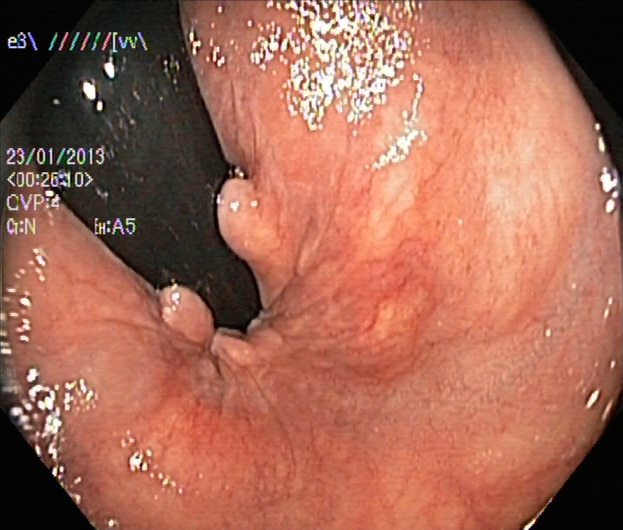Rectum in retroflexion.